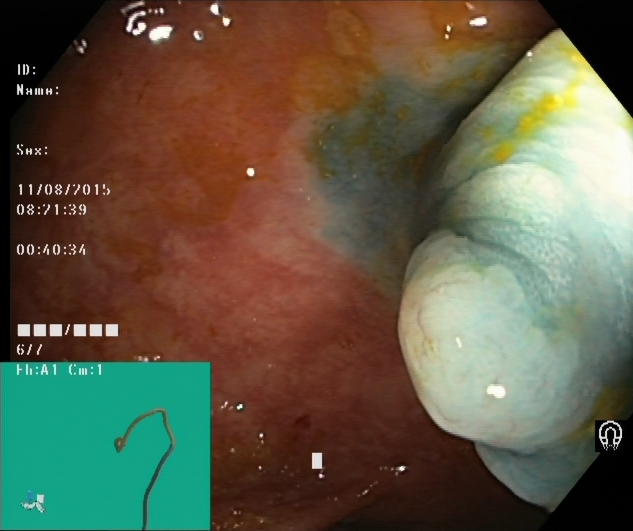{"modality": "lower gastrointestinal endoscopy", "tract": "lower GI tract", "finding": "dyed and lifted polyp (pre-resection)"}